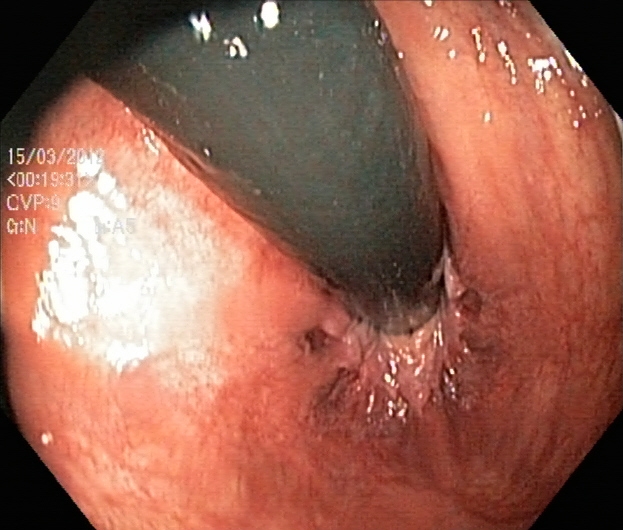Rectum in retroflexion.